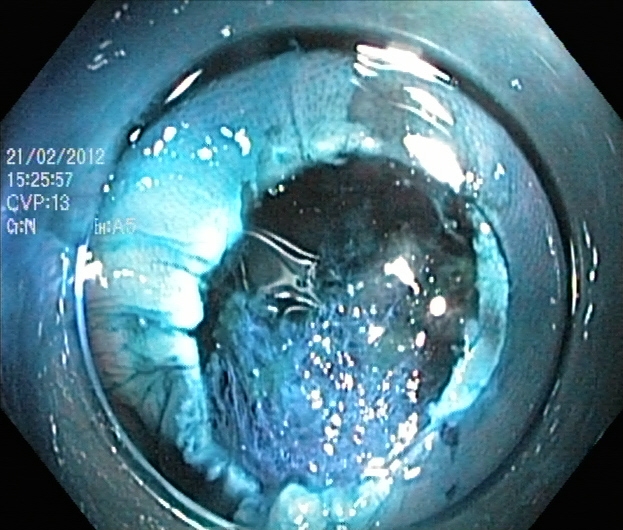Endoscopic image of the lower GI tract showing dyed resection margins (post-polypectomy).